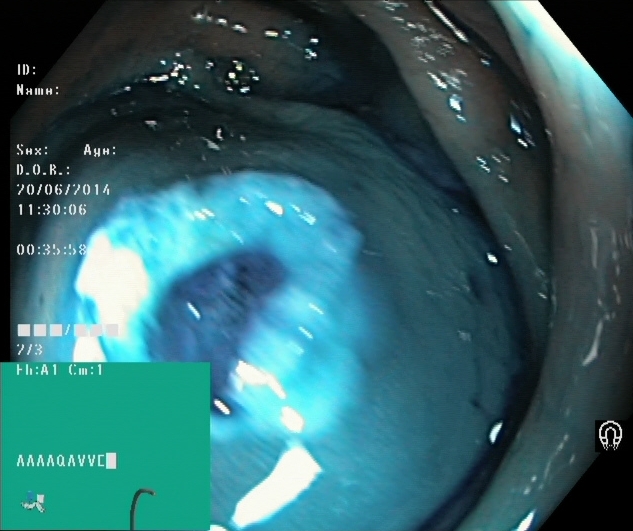Lower-GI endoscopy. Therapeutic intervention. Finding: dyed resection margins (post-polypectomy).